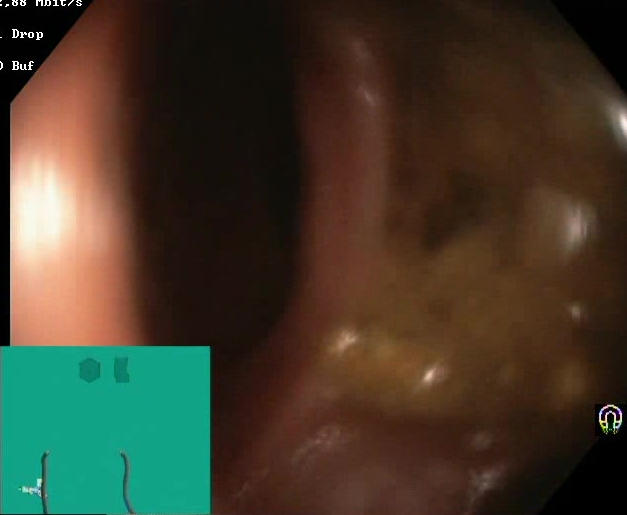Gastrointestinal endoscopy image showing BBPS score 0–1 (inadequate preparation).